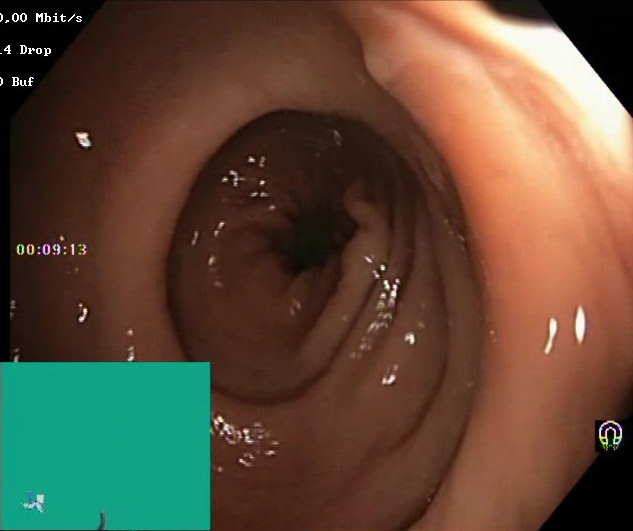{"modality": "lower gastrointestinal endoscopy", "tract": "lower GI tract", "category": "mucosal-view quality", "finding": "Boston Bowel Preparation Scale score 2\u20133 (adequate preparation)"}